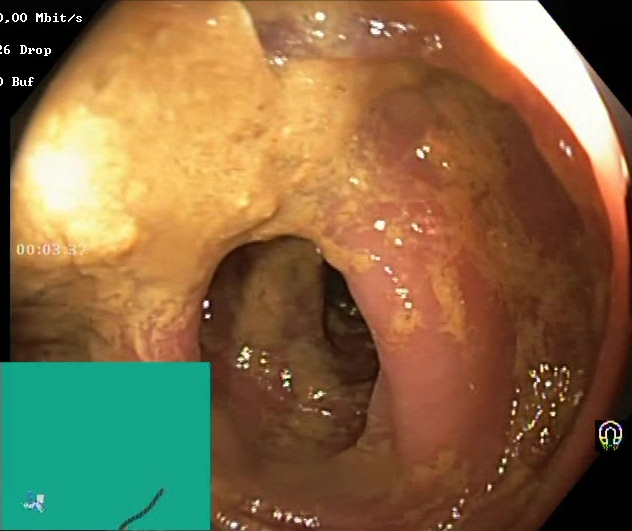PROCEDURE: Lower gastrointestinal endoscopy.
CATEGORY: Mucosal-view quality.
FINDINGS: BBPS score 0–1 (inadequate preparation).